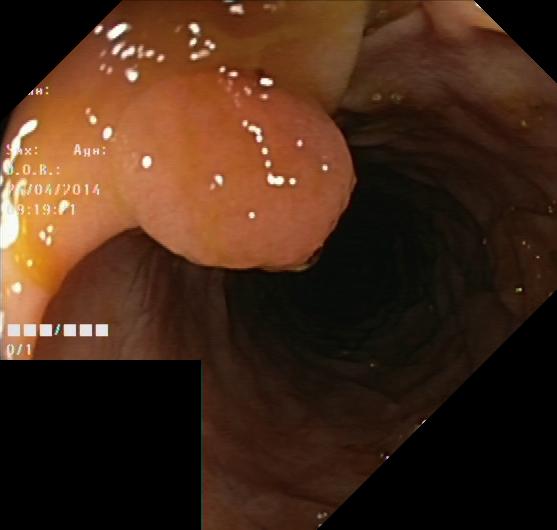Lower gastrointestinal endoscopy — colorectal polyp(s).